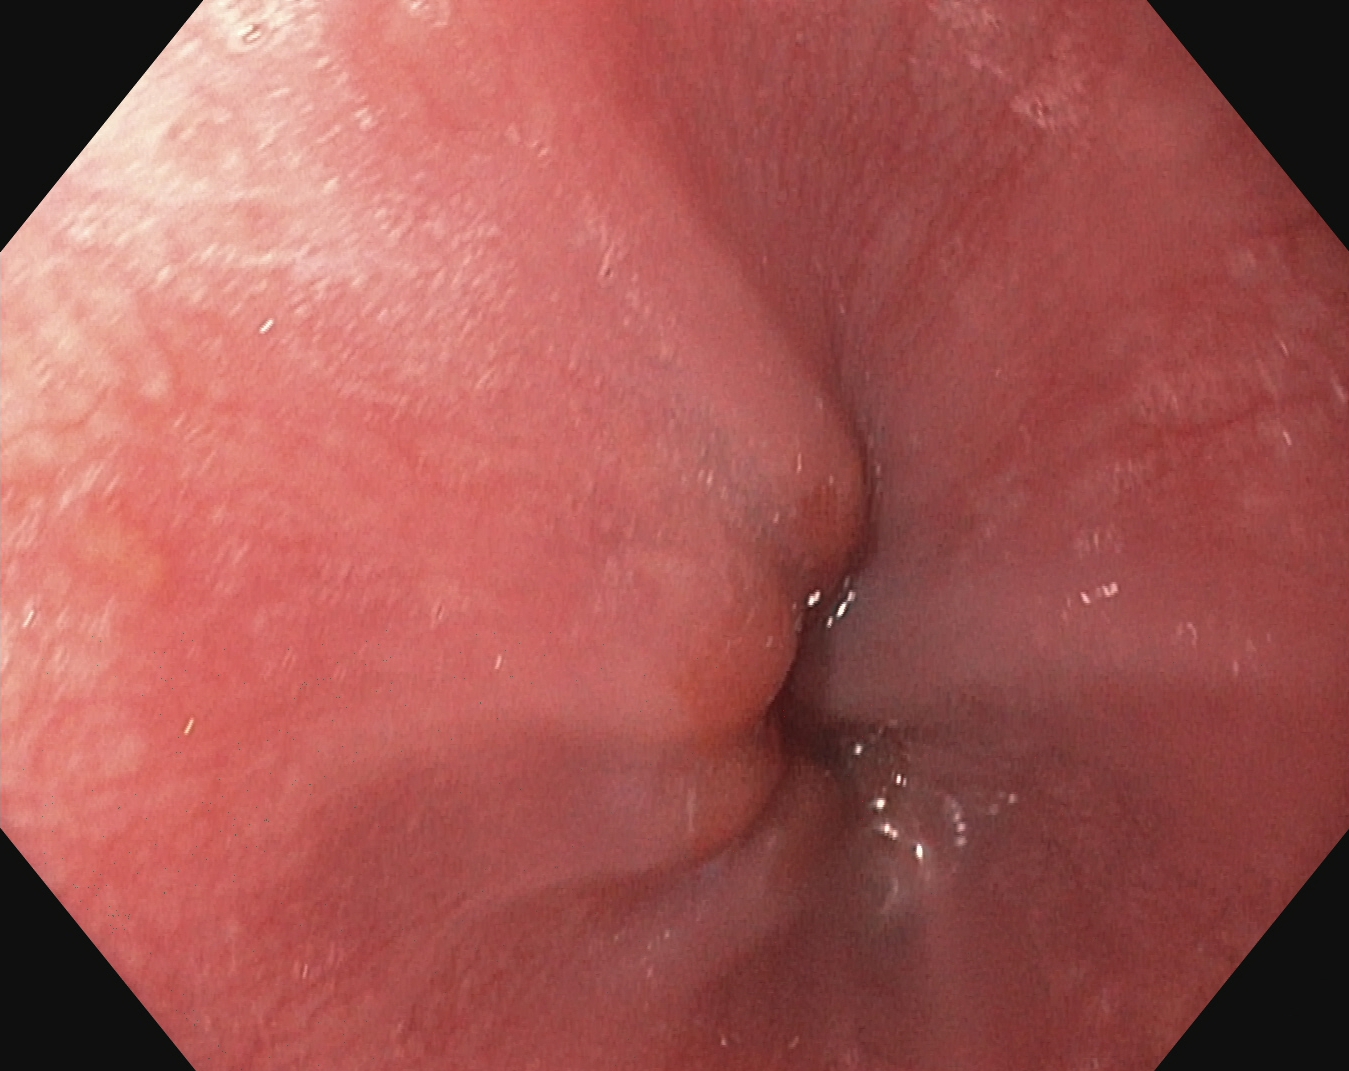{"modality": "EGD", "tract": "upper GI tract", "category": "anatomical landmark", "finding": "Z-line (gastroesophageal junction)"}